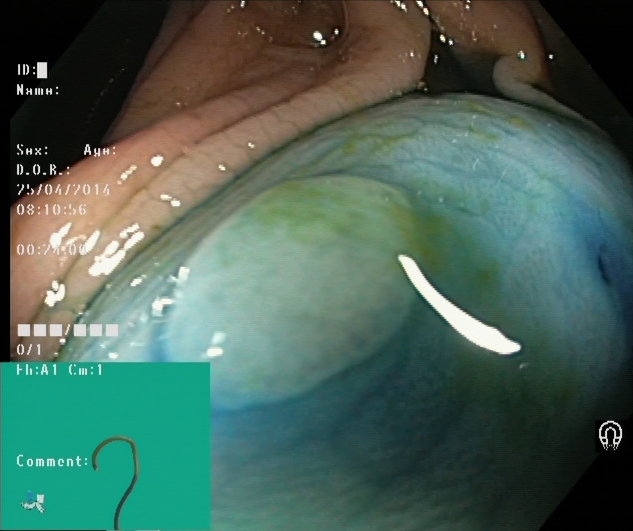Dyed and lifted polyp (pre-resection).